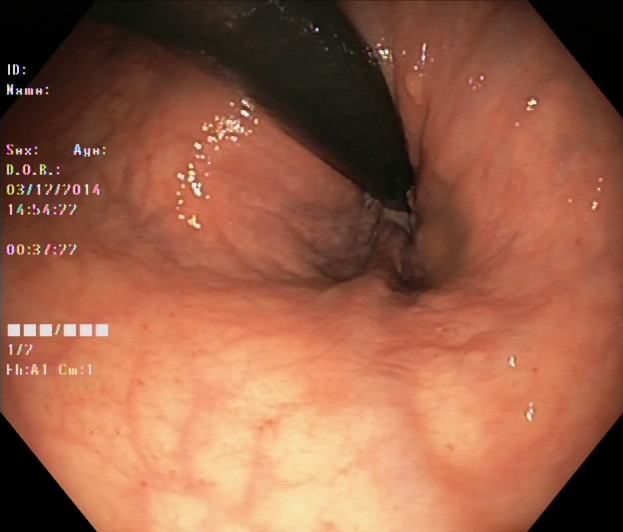modality: gastroscopy; finding: stomach in retroflexion